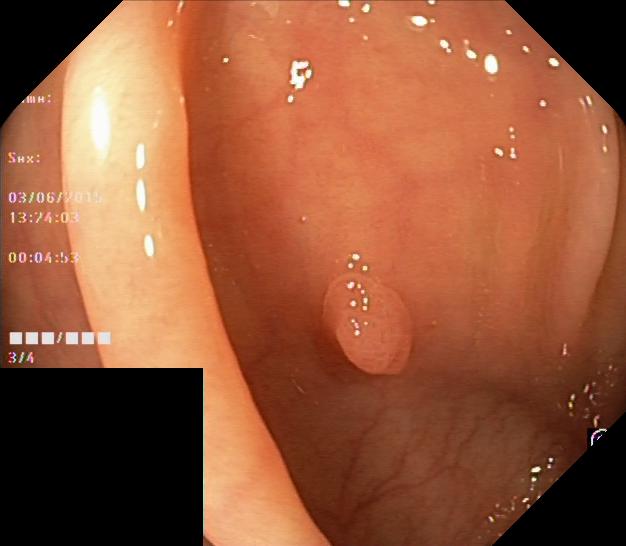modality: lower gastrointestinal endoscopy; category: pathological finding; finding: colorectal polyp(s)